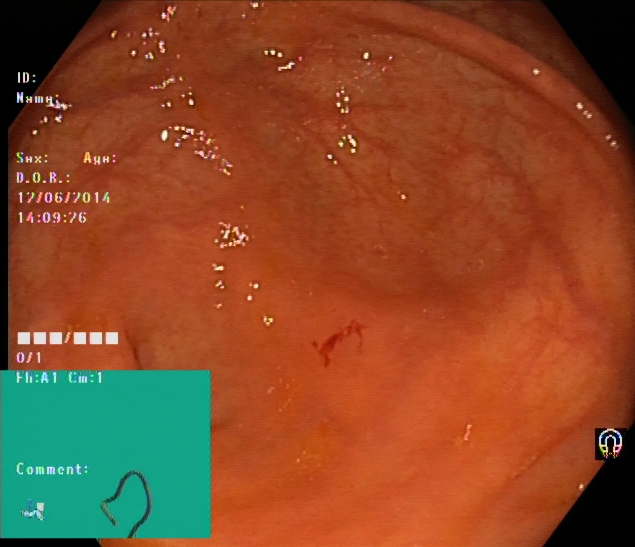{"modality": "lower-GI endoscopy", "tract": "lower GI tract", "finding": "cecum"}